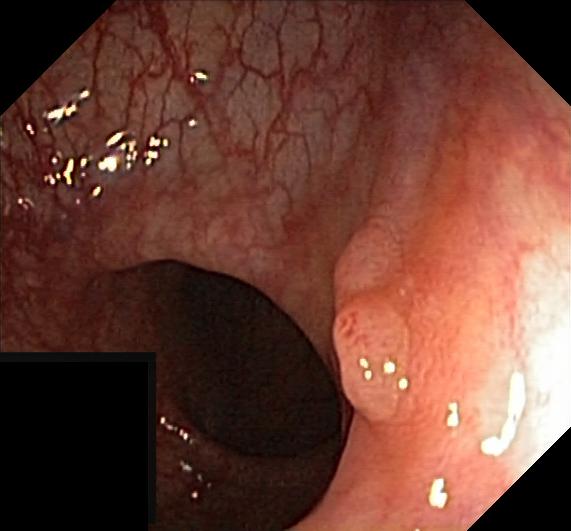Lower gastrointestinal endoscopy — colorectal polyp(s).